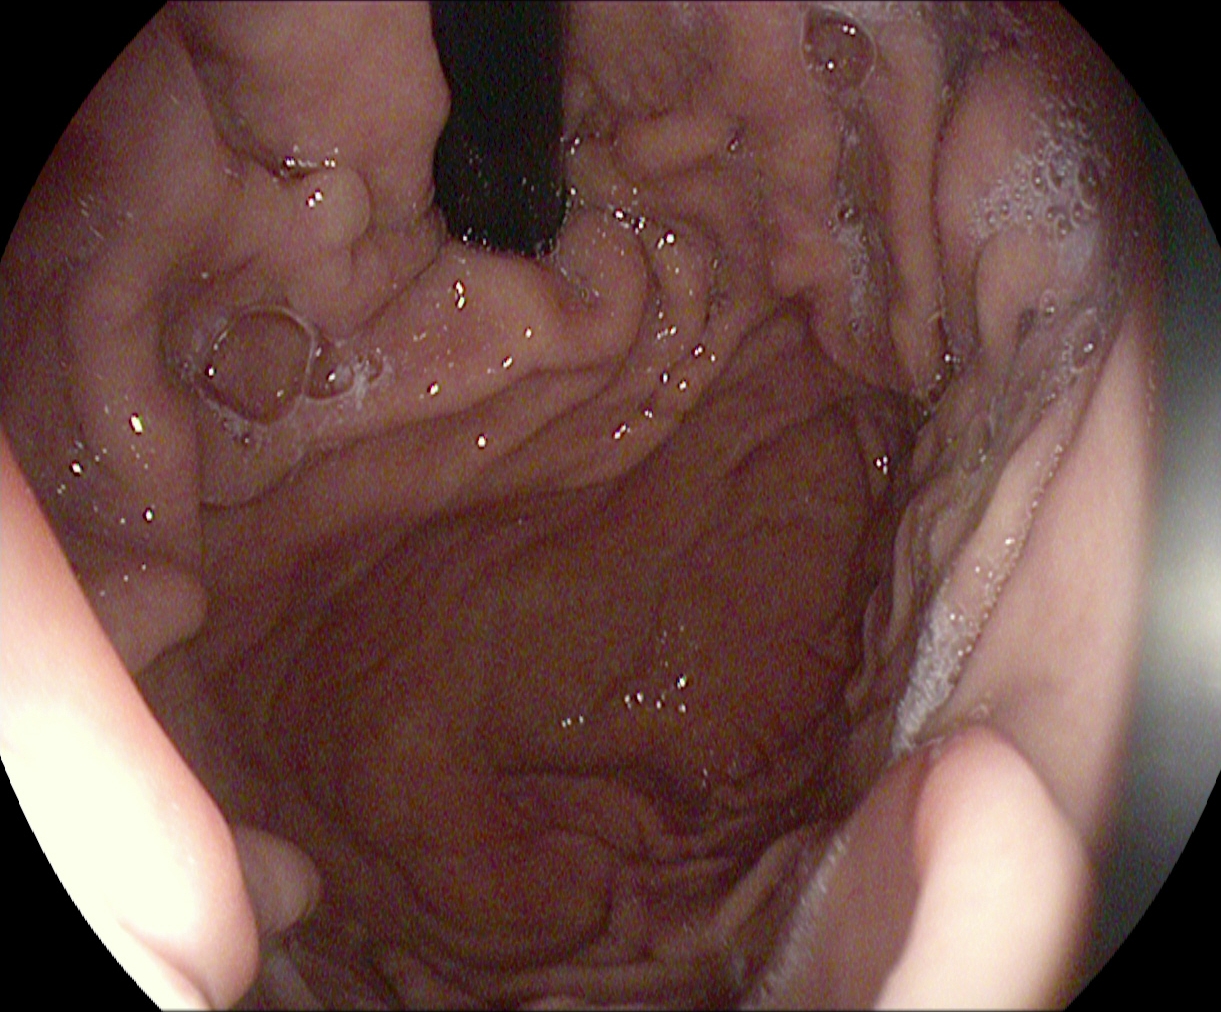This endoscopic image of the upper GI tract shows stomach in retroflexion.